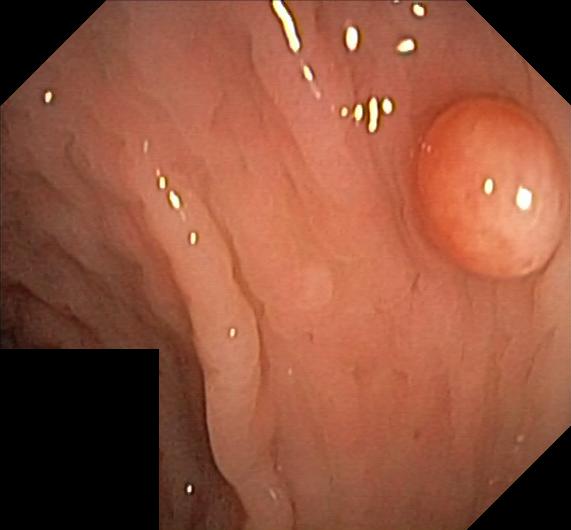Lower-GI endoscopy — colorectal polyp(s).